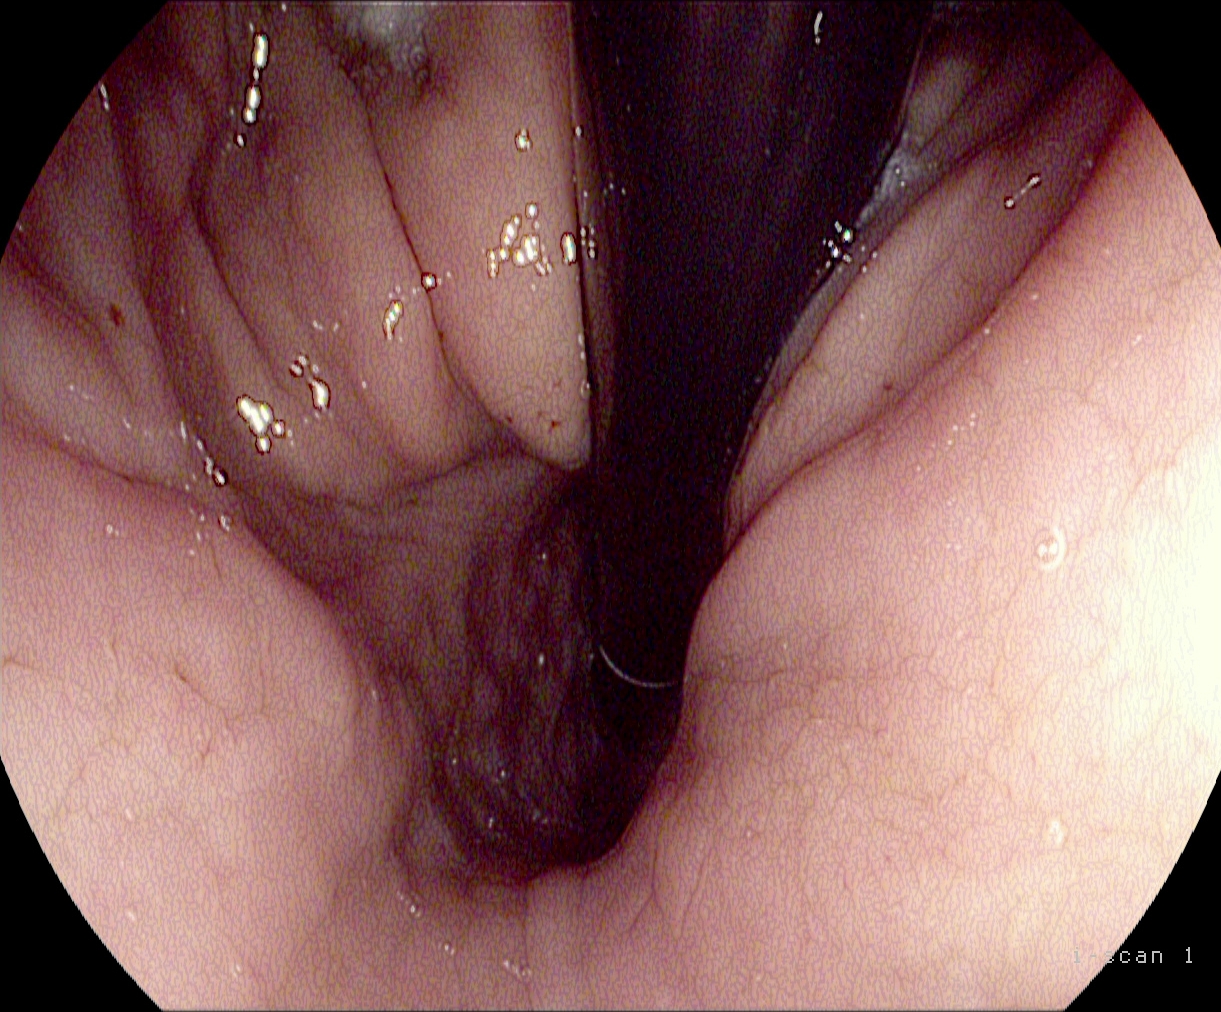Upper-GI endoscopy. Finding: stomach in retroflexion.